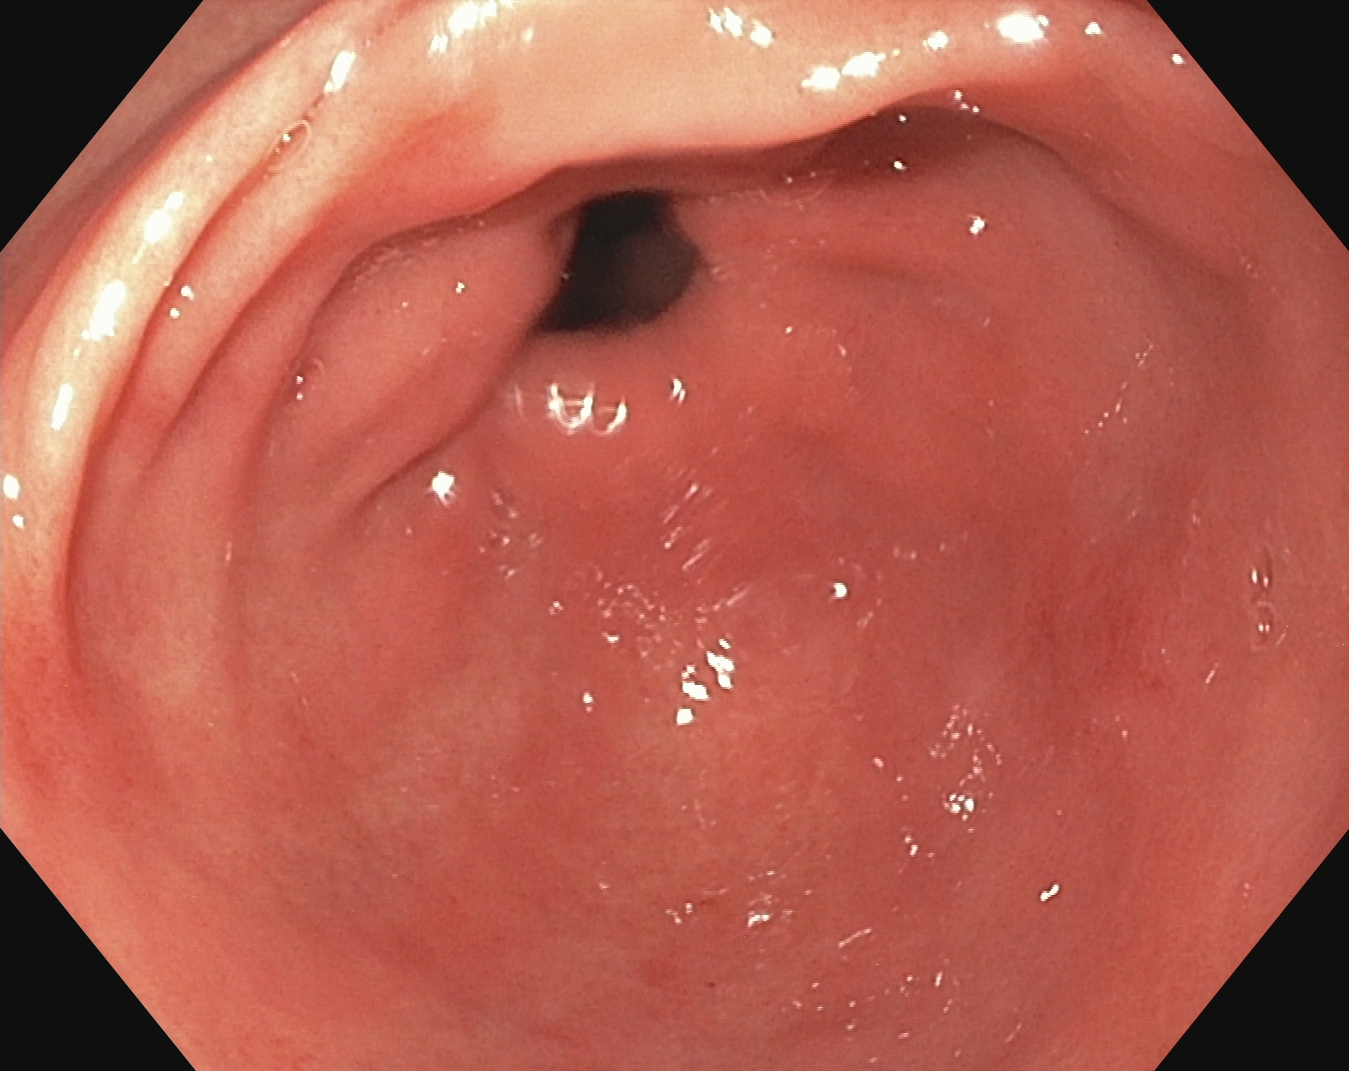PROCEDURE: Upper-GI endoscopy.
FINDINGS: Pylorus.